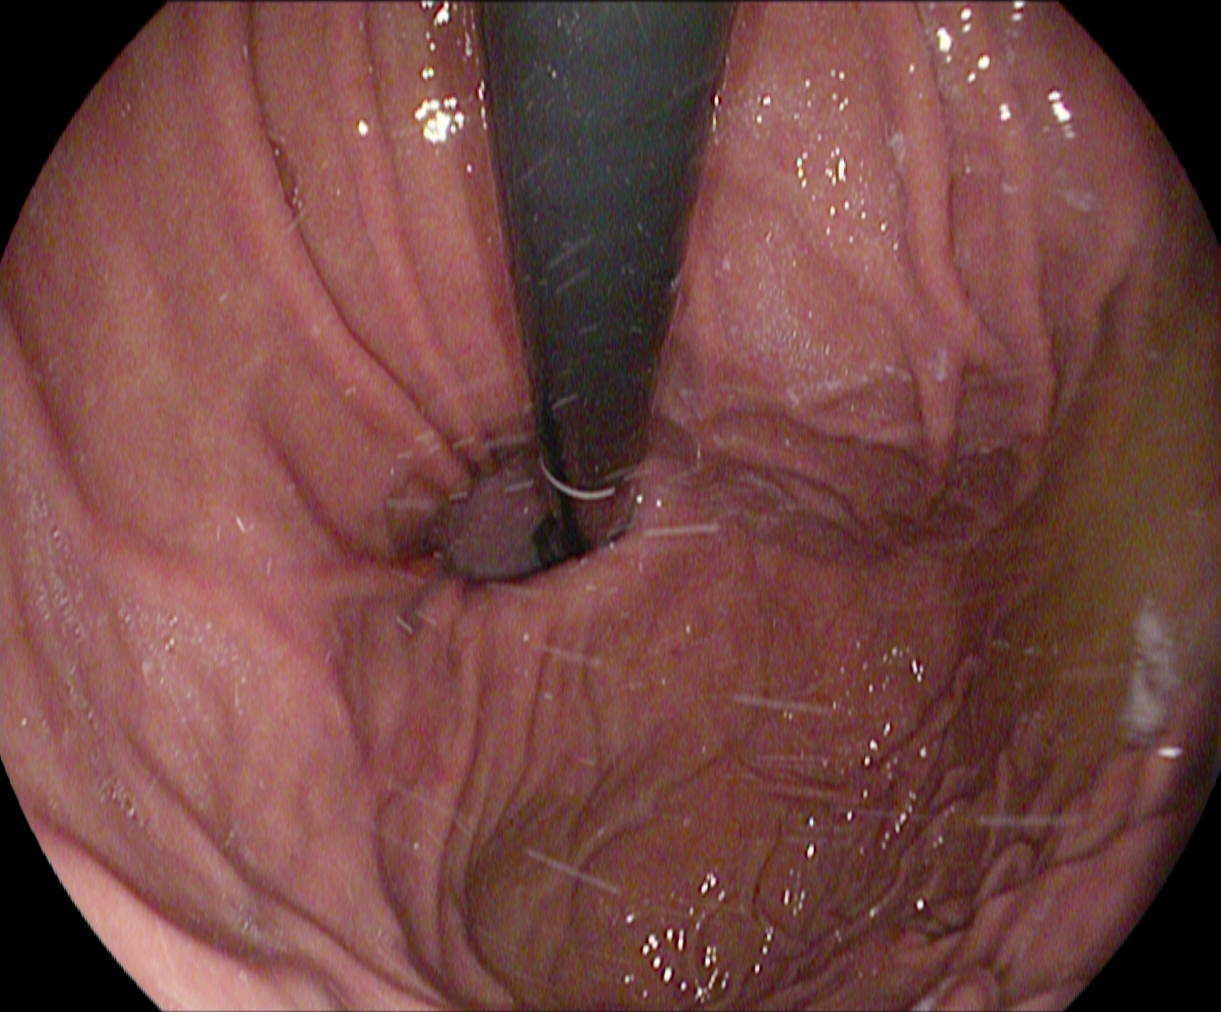GI endoscopy image of the upper GI tract showing stomach in retroflexion.